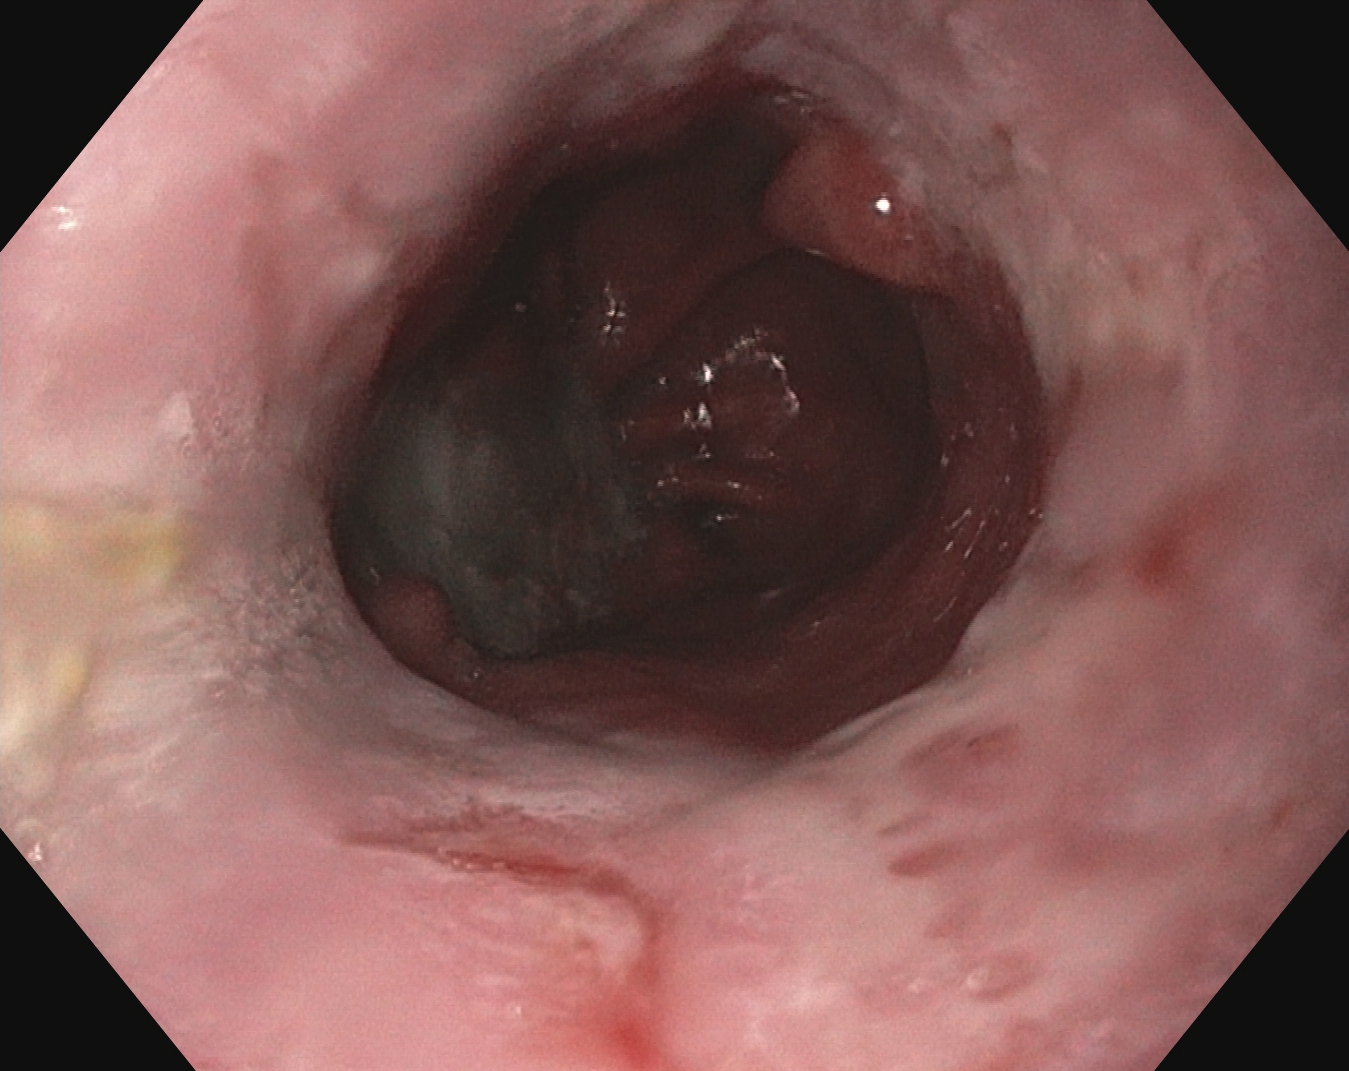PROCEDURE: Upper-GI endoscopy.
FINDINGS: Reflux esophagitis, LA grade B–D.